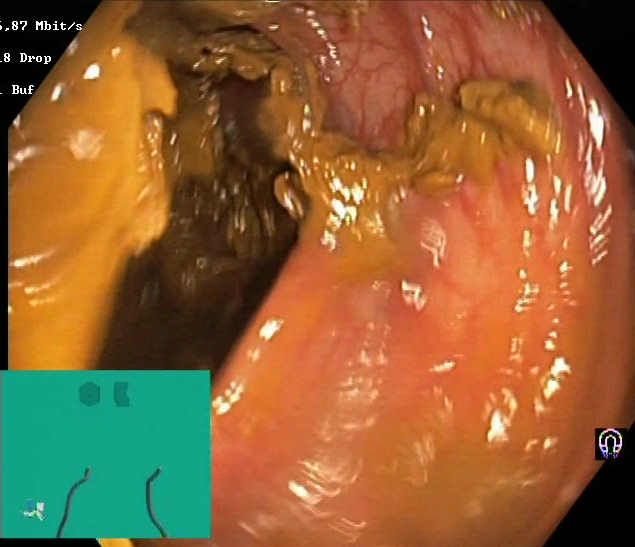Lower gastrointestinal endoscopy. Mucosal-view quality. Finding: Boston Bowel Preparation Scale score 0–1 (inadequate preparation).